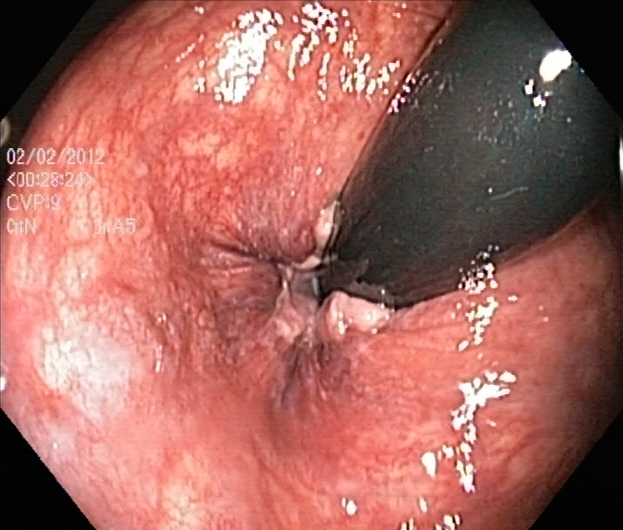This endoscopic image of the lower GI tract shows rectum in retroflexion.